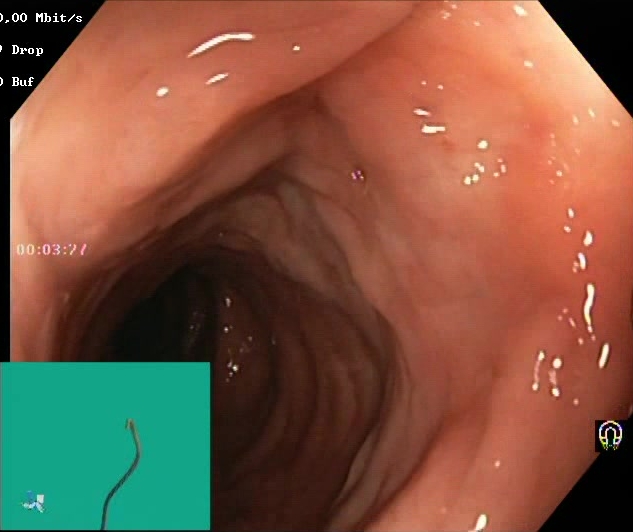Lower-GI endoscopy. Tract: lower GI tract. Finding: BBPS score 2–3 (adequate preparation).